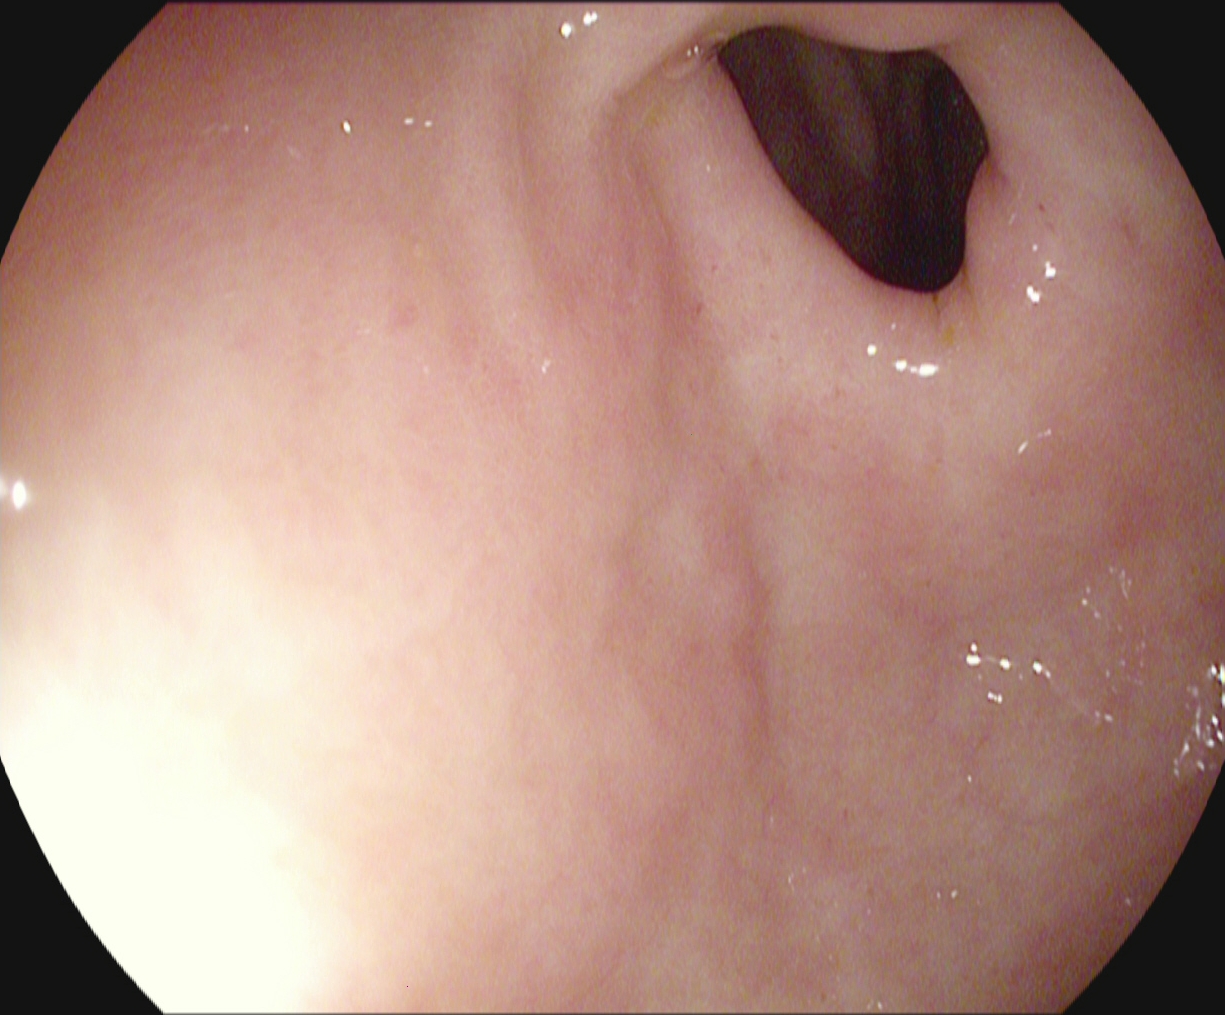{"modality": "esophagogastroduodenoscopy", "finding": "pylorus"}